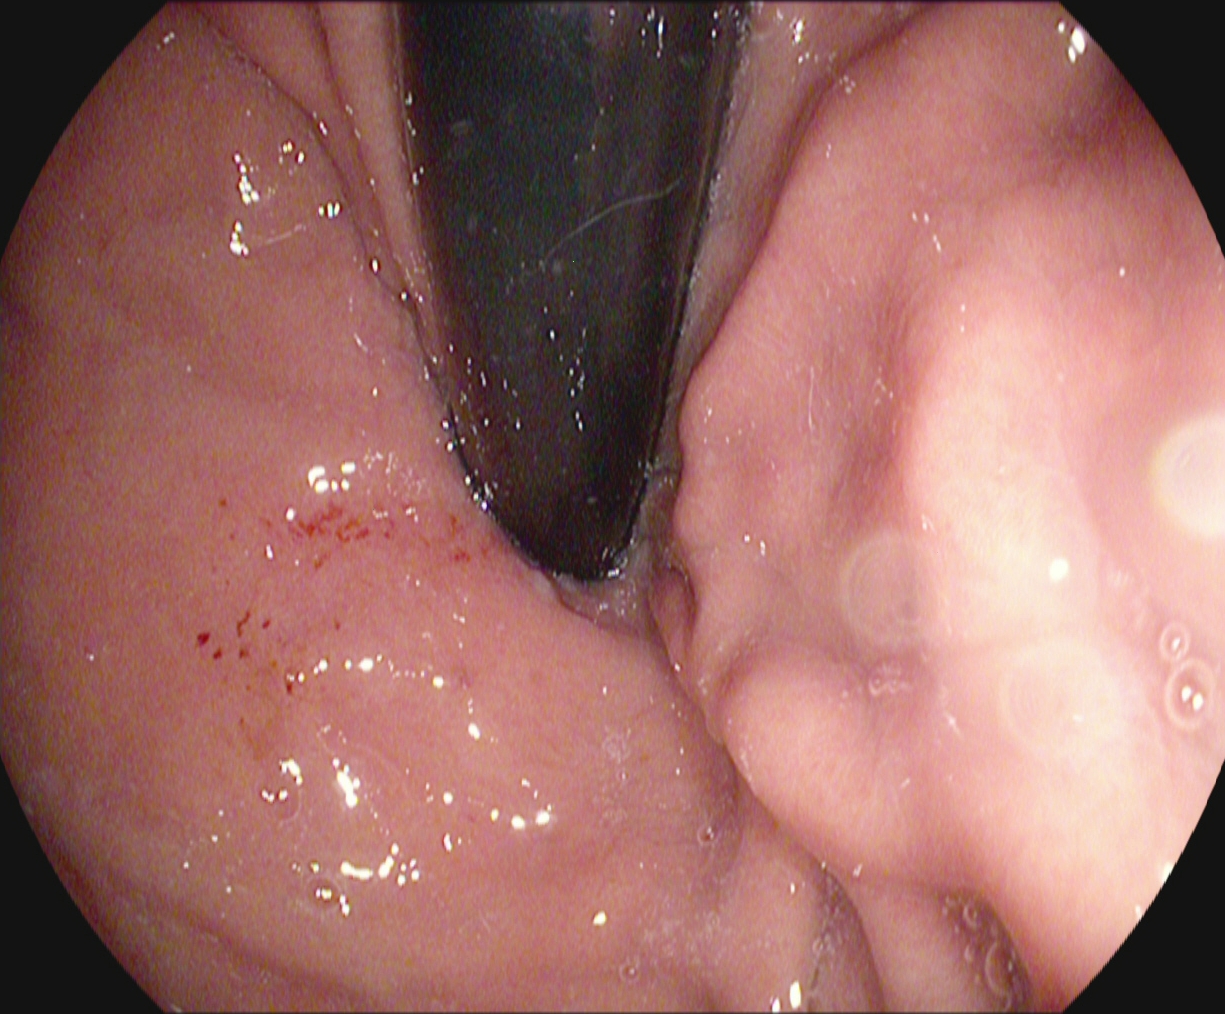{"modality": "upper-GI endoscopy", "tract": "upper GI tract", "finding": "stomach in retroflexion"}